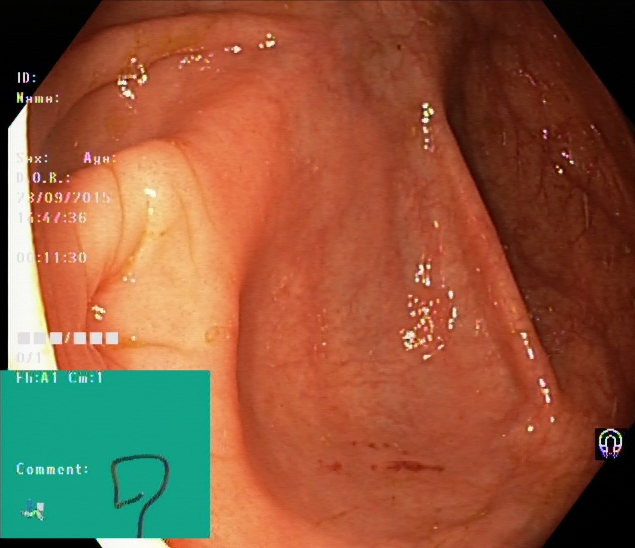modality: colonoscopy
tract: lower GI tract
category: anatomical landmark
finding: cecum